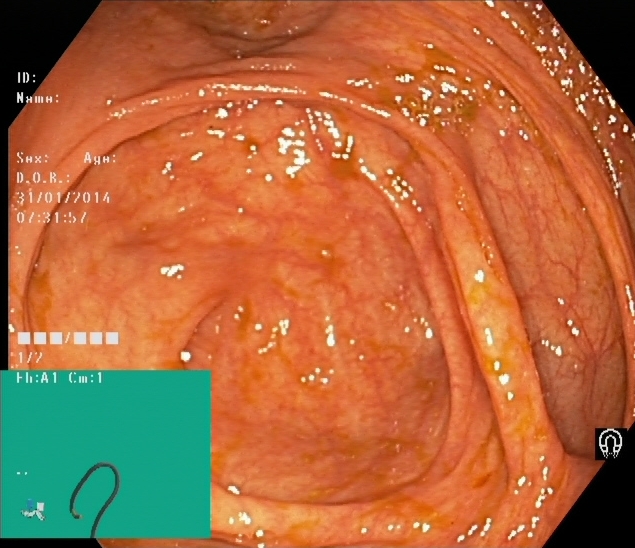This endoscopy frame of the lower GI tract shows cecum.